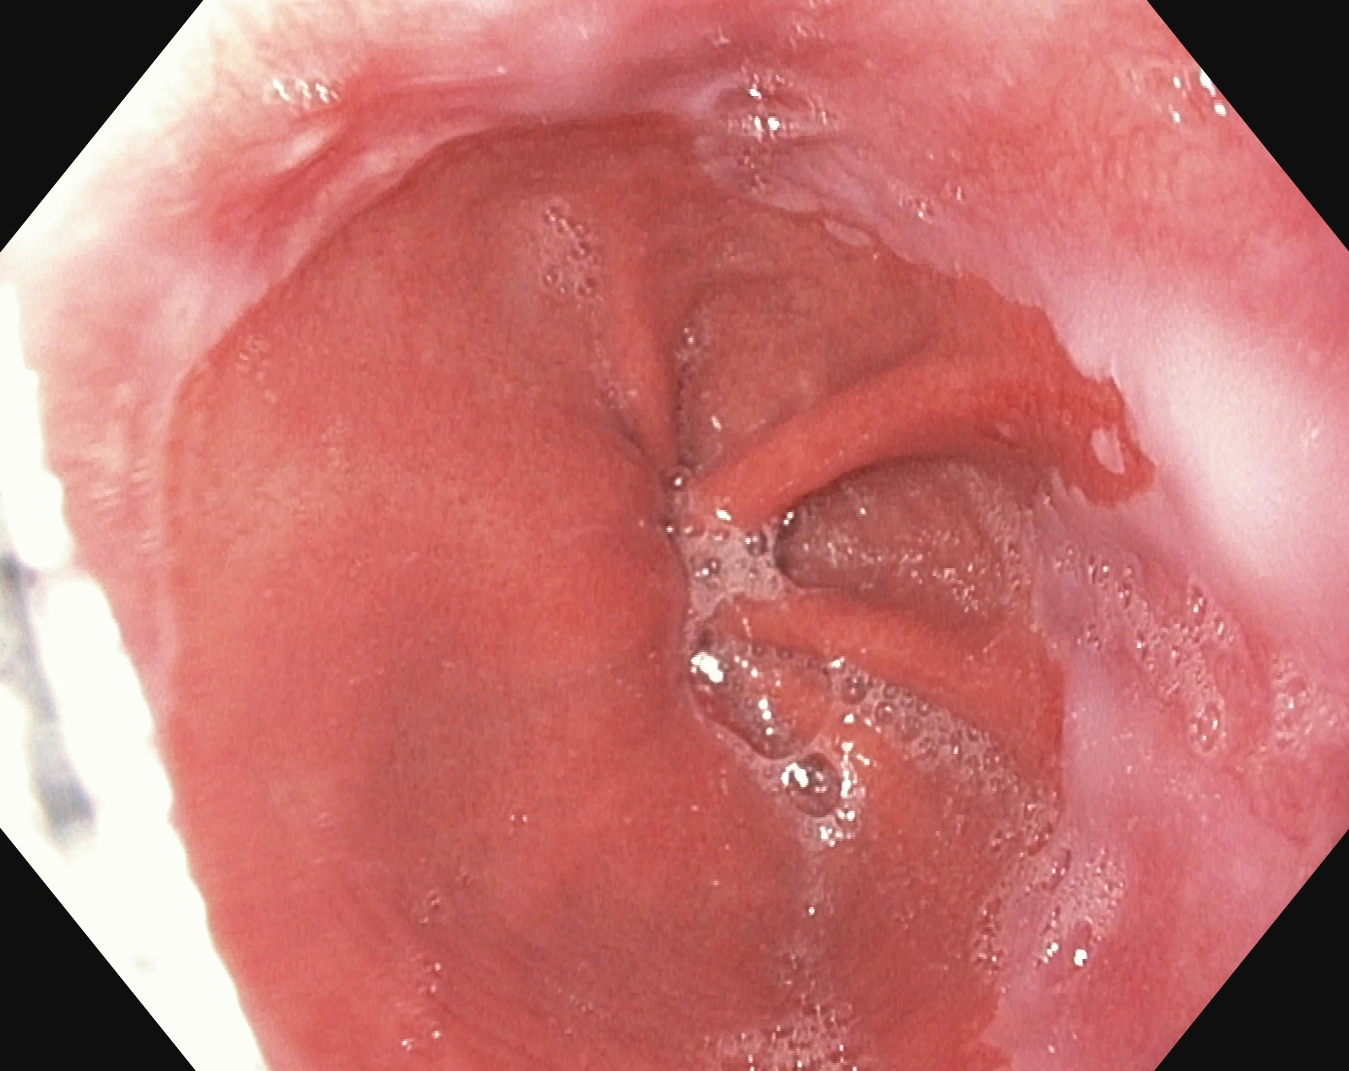{"modality": "upper-GI endoscopy", "tract": "upper GI tract", "finding": "reflux esophagitis, LA grade B\u2013D"}